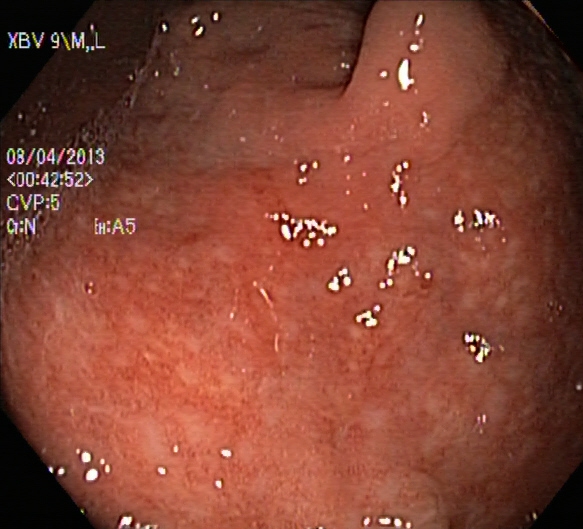Gastrointestinal endoscopy image of the lower GI tract showing ulcerative colitis, Mayo endoscopic subscore 2.